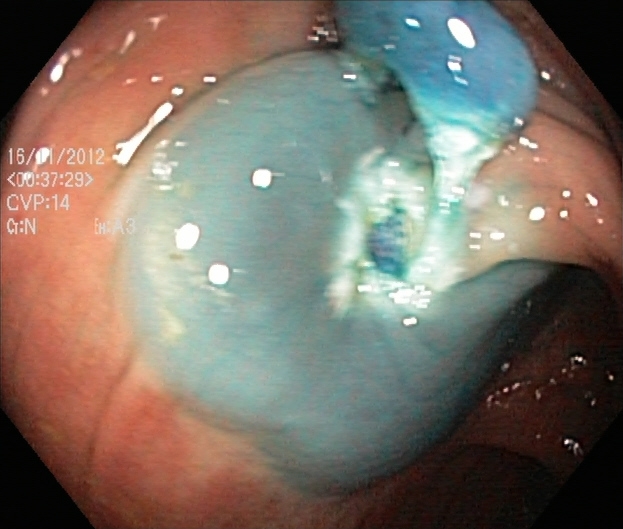dyed and lifted polyp (pre-resection).